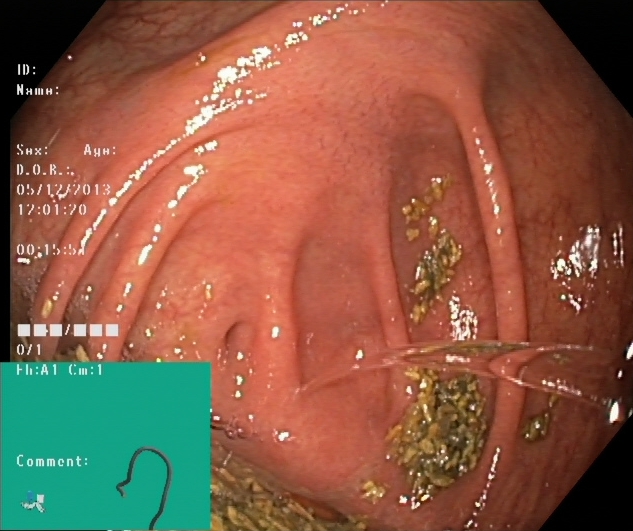Cecum.